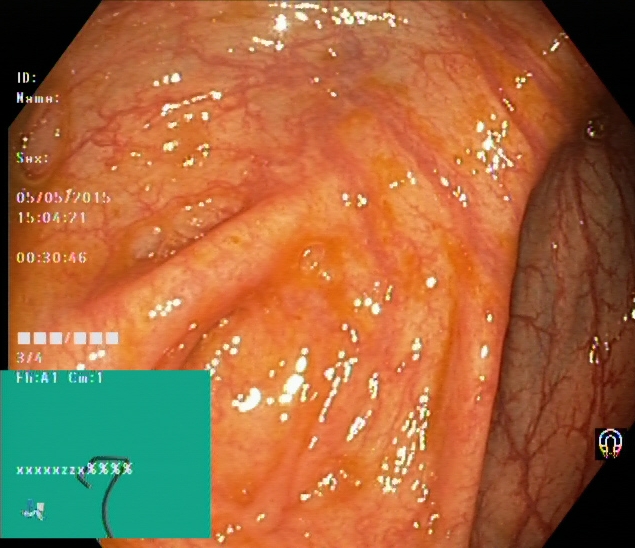This endoscopic image shows cecum.